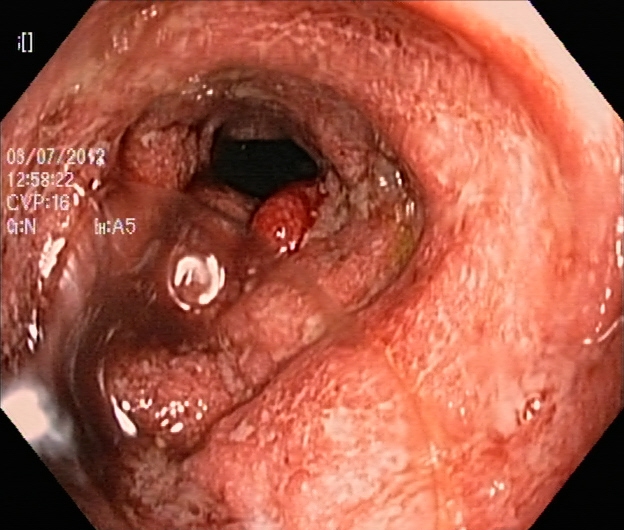Endoscopic image showing UC, Mayo endoscopic subscore 3.